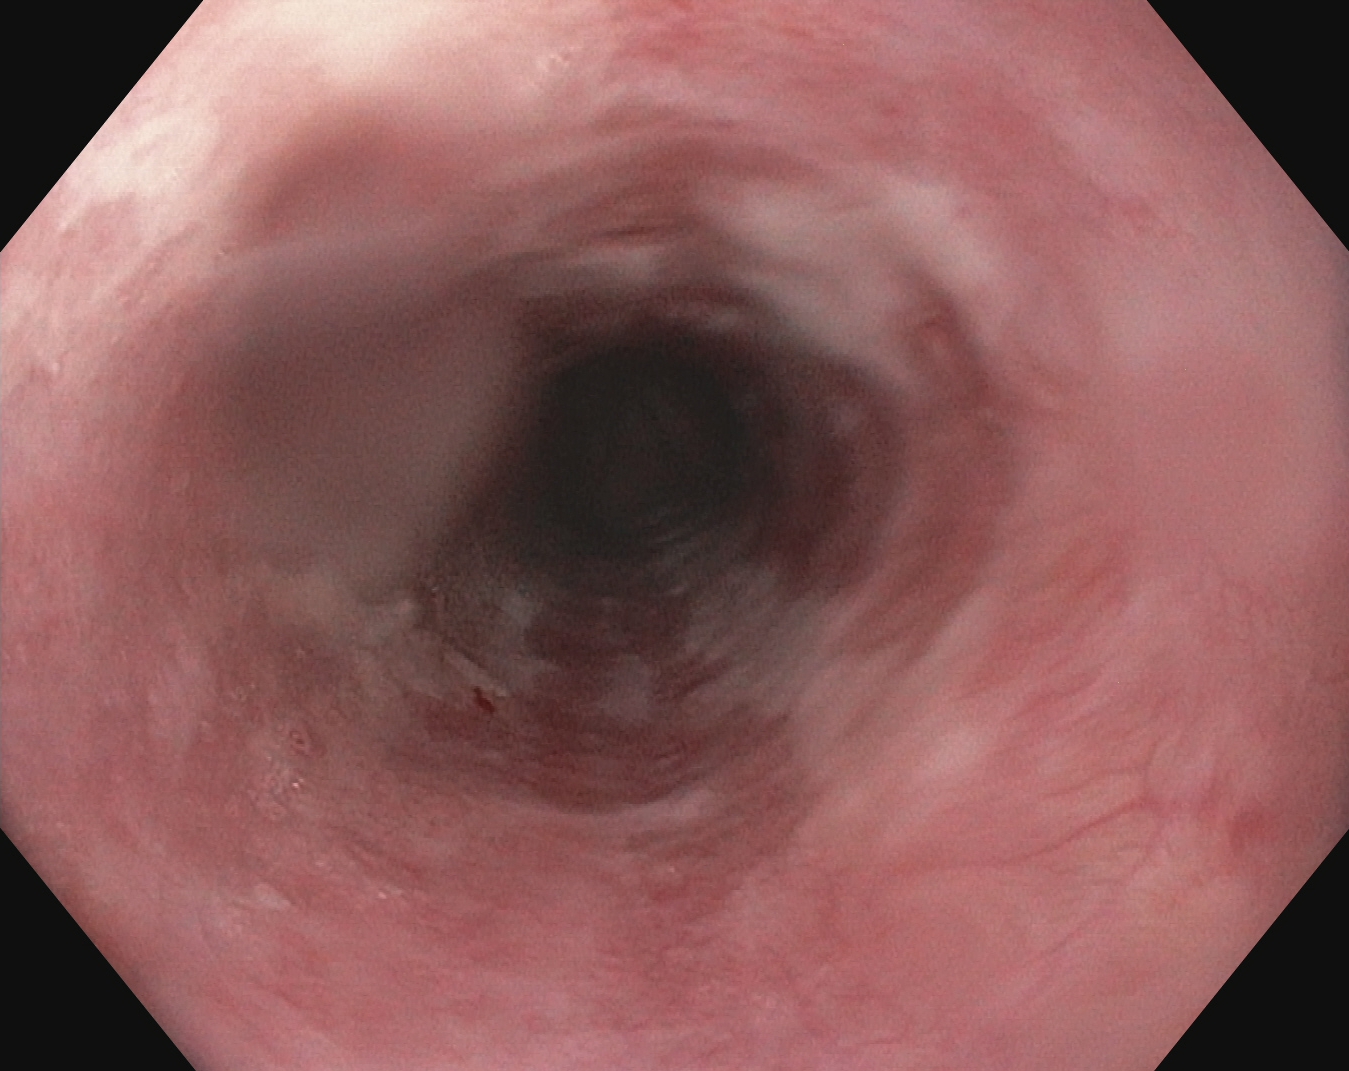modality: esophagogastroduodenoscopy; tract: upper GI tract; finding: reflux esophagitis, LA grade B–D